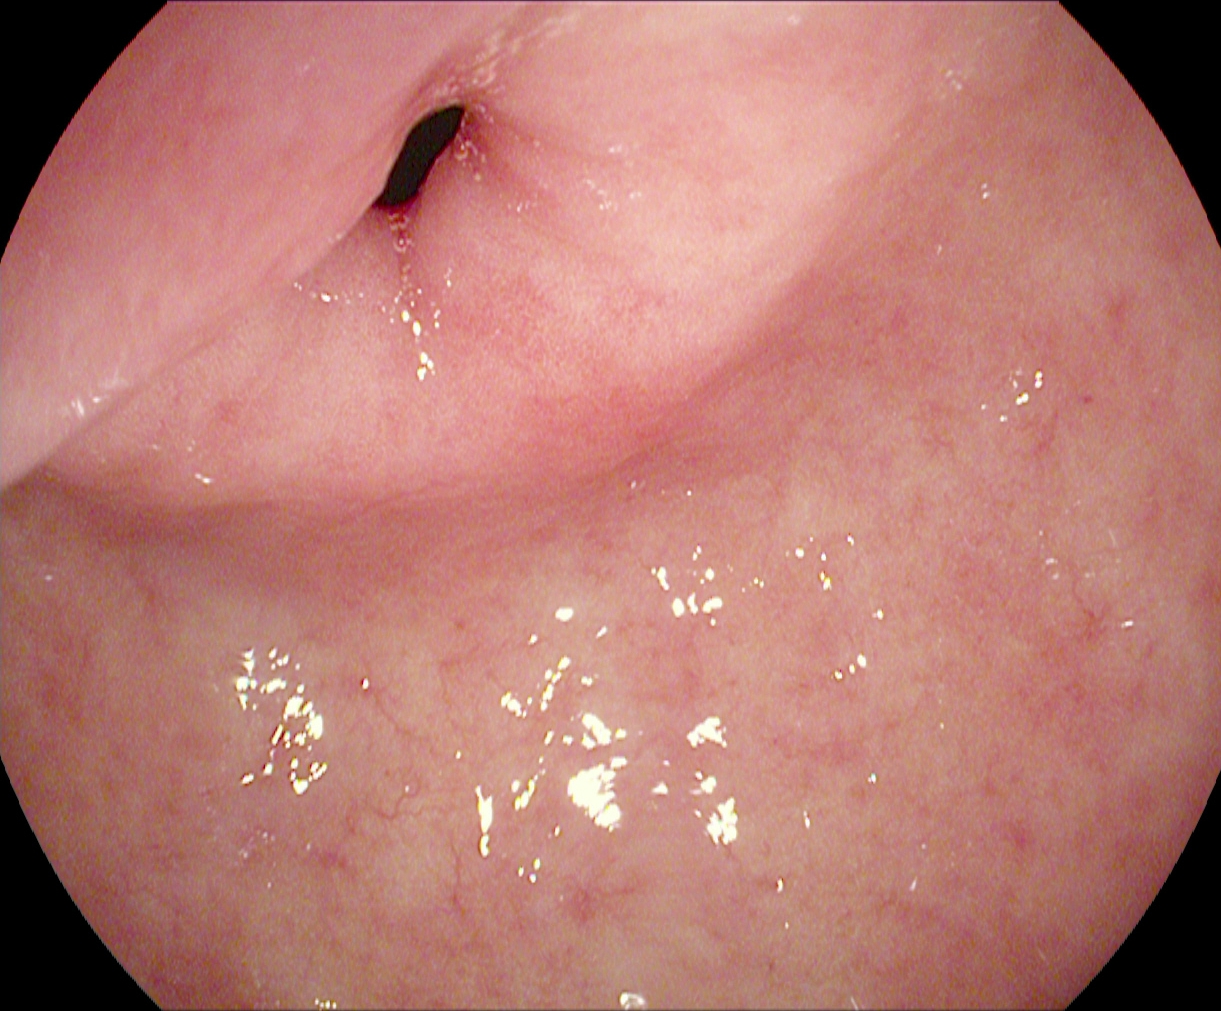{"modality": "gastroscopy", "tract": "upper GI tract", "category": "anatomical landmark", "finding": "pylorus"}